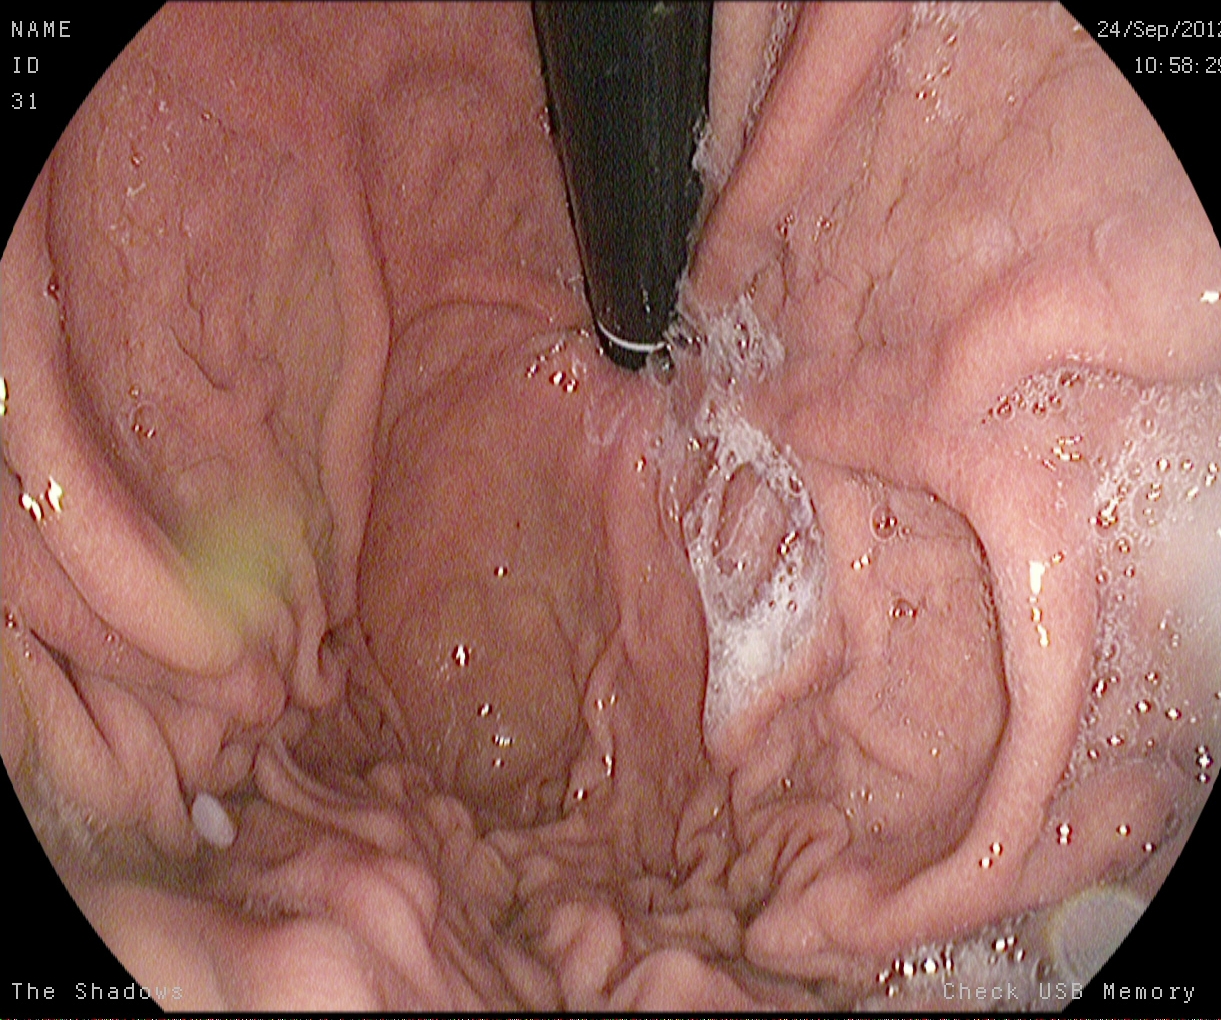EGD. Finding: stomach in retroflexion.